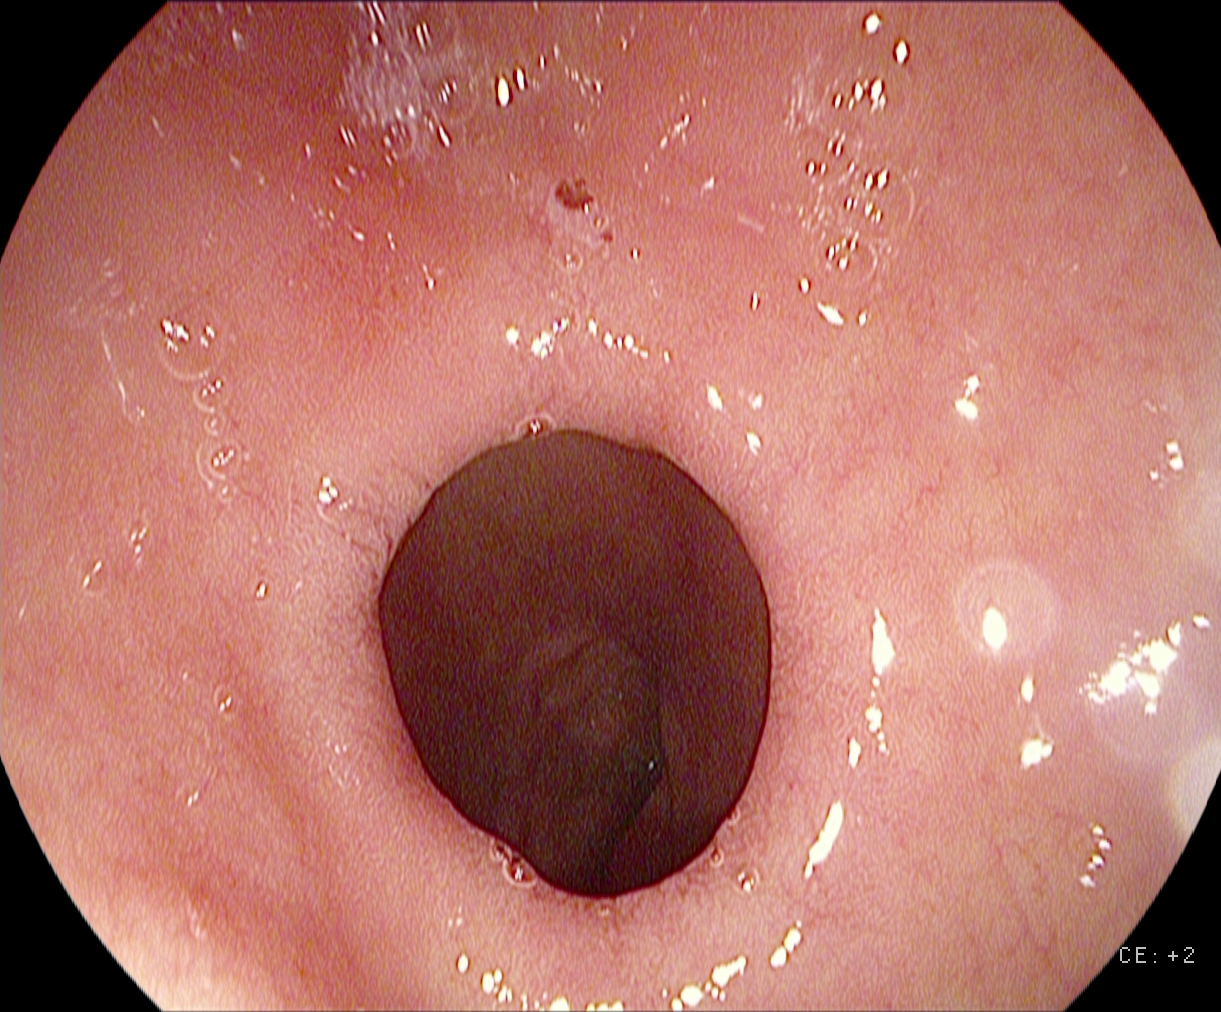Pylorus.